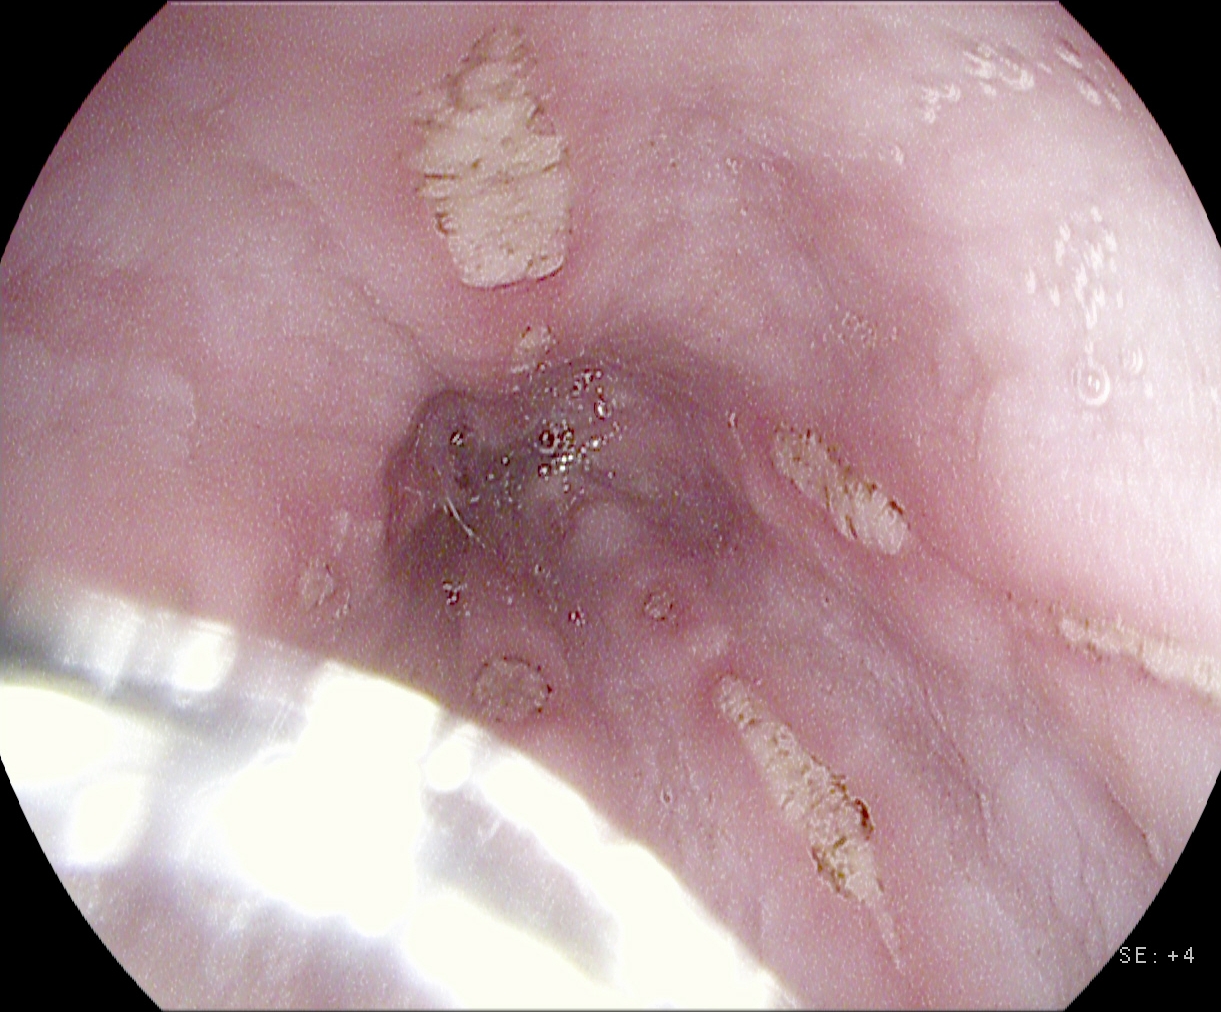This endoscopy frame of the upper GI tract shows reflux esophagitis, Los Angeles grade B–D.